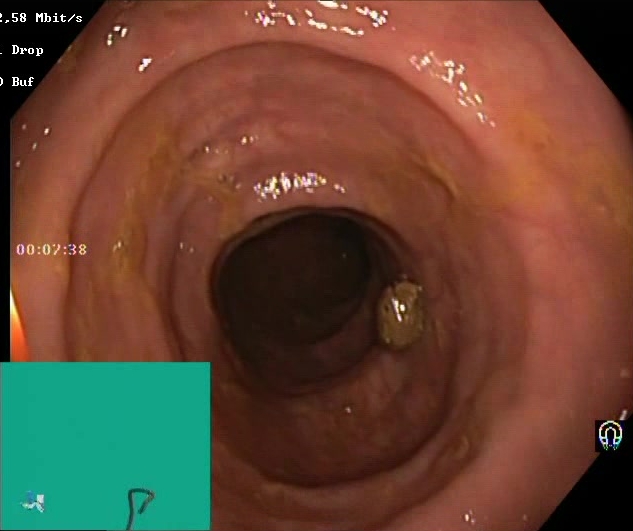Colonoscopy. Tract: lower GI tract. Finding: BBPS score 2–3 (adequate preparation).